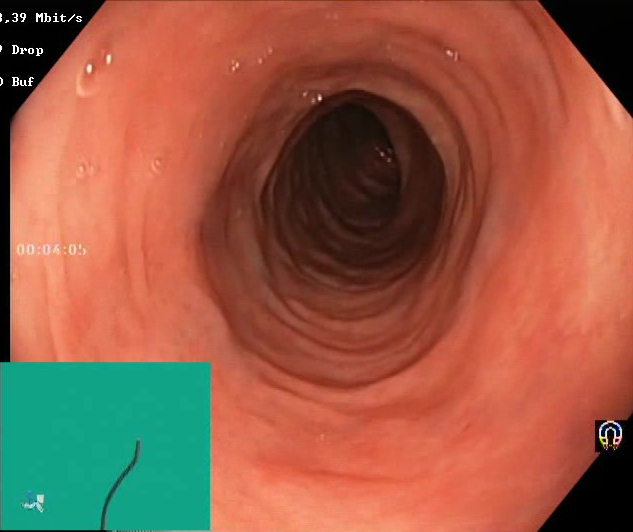PROCEDURE: Colonoscopy.
FINDINGS: Boston Bowel Preparation Scale score 2–3 (adequate preparation).